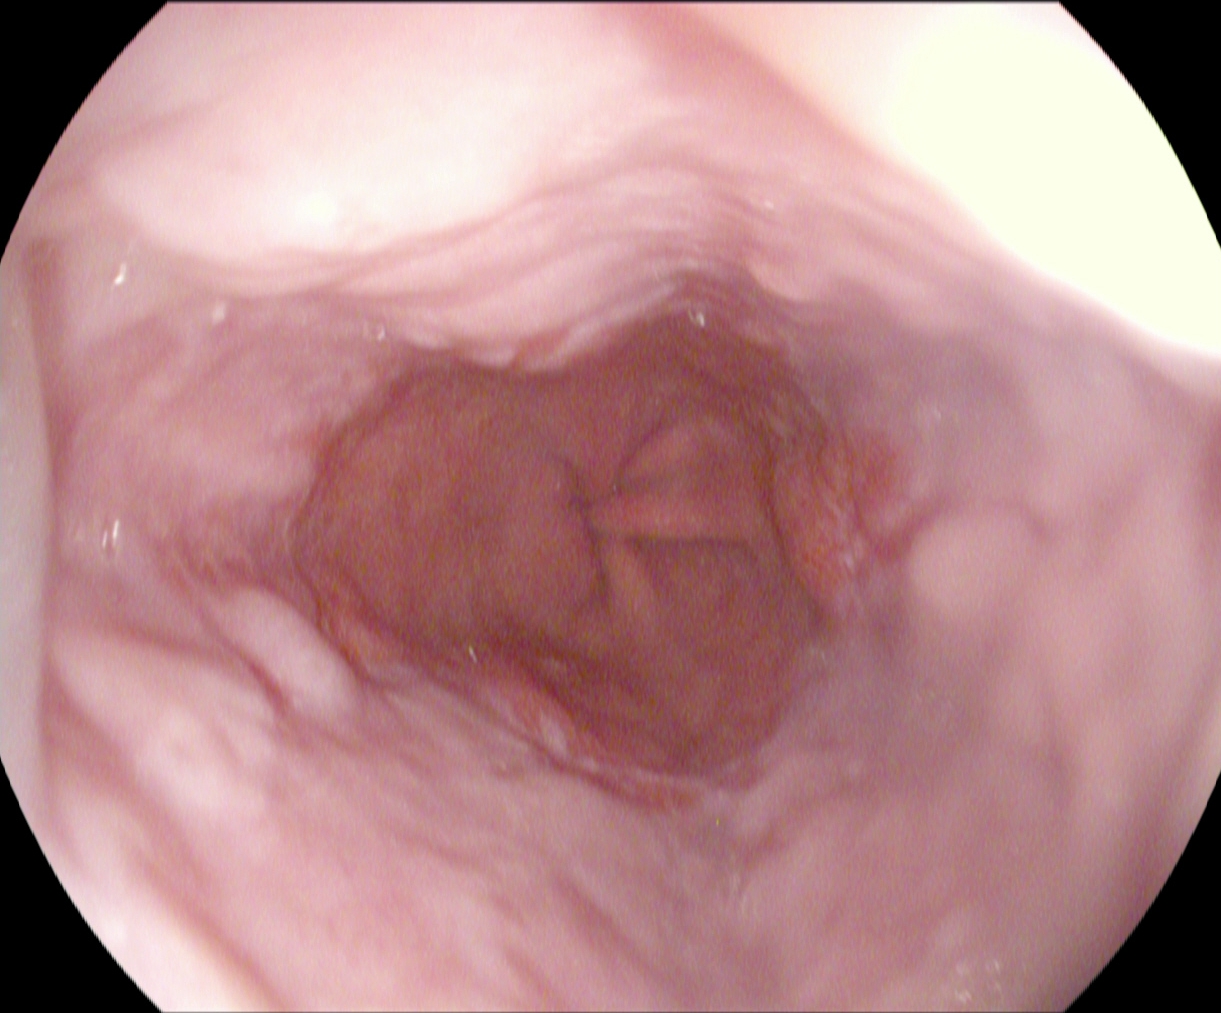PROCEDURE: Esophagogastroduodenoscopy.
CATEGORY: Pathological finding.
FINDINGS: Reflux esophagitis, LA grade A.